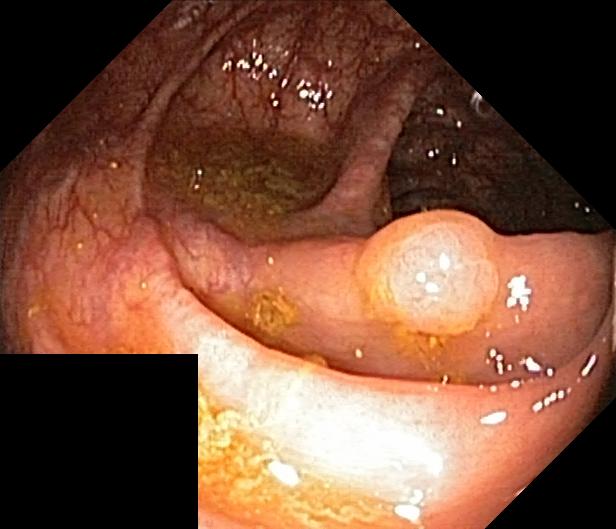PROCEDURE: Lower gastrointestinal endoscopy.
FINDINGS: Colorectal polyp(s).